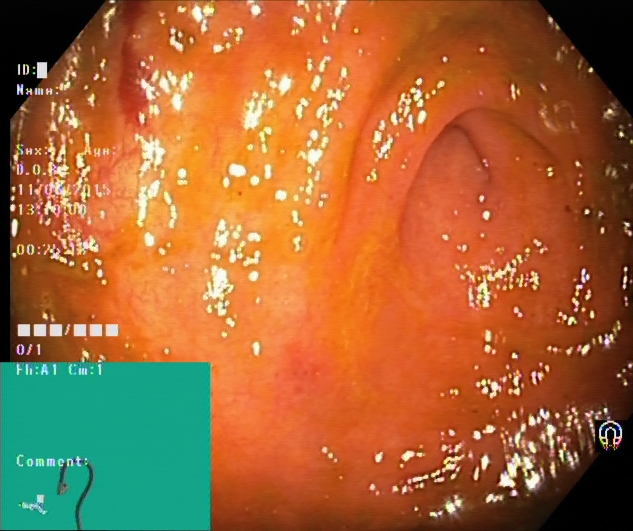{"modality": "colonoscopy", "finding": "cecum"}